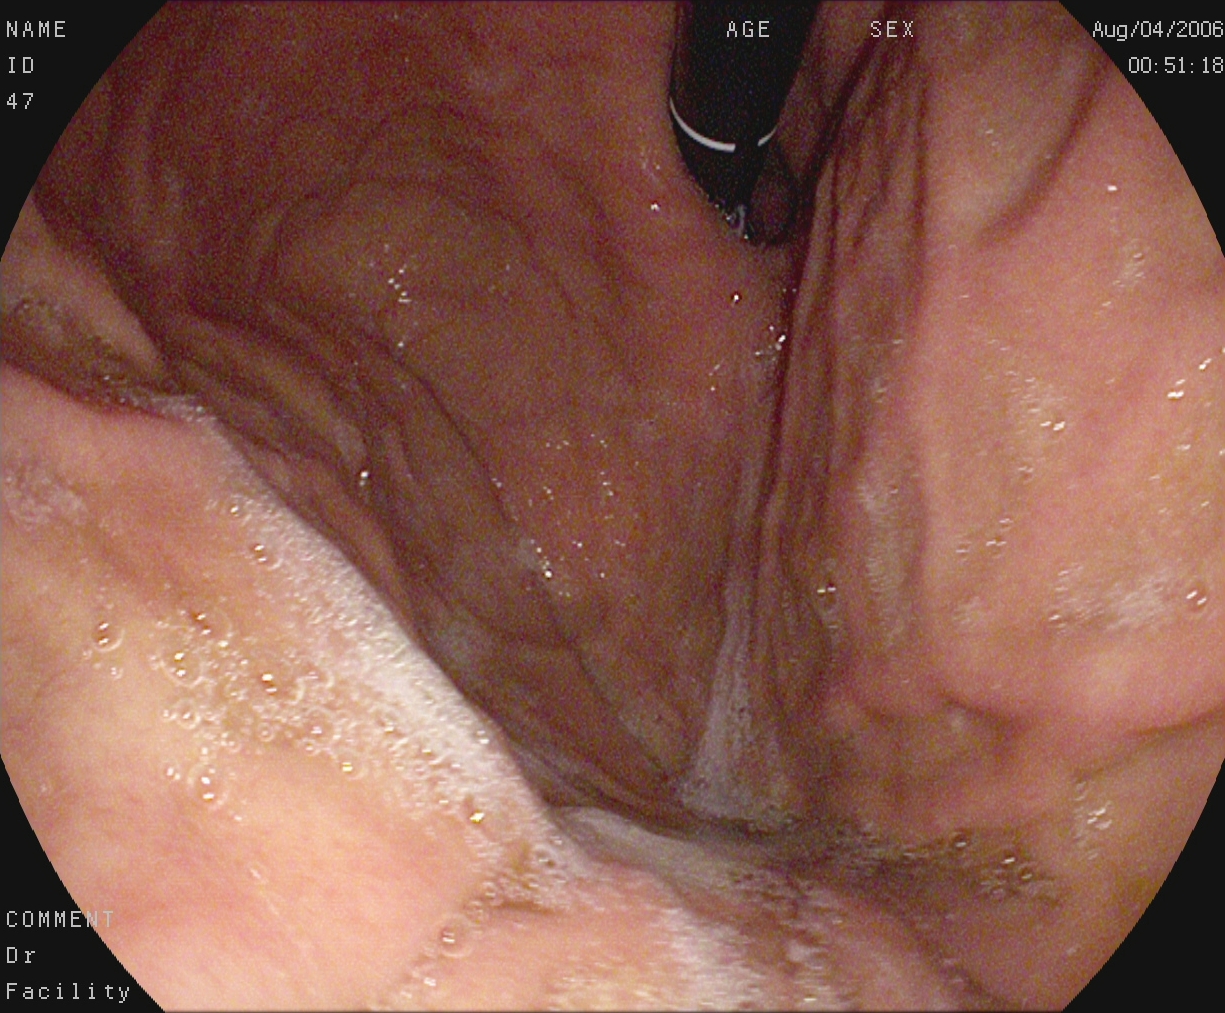Stomach in retroflexion.